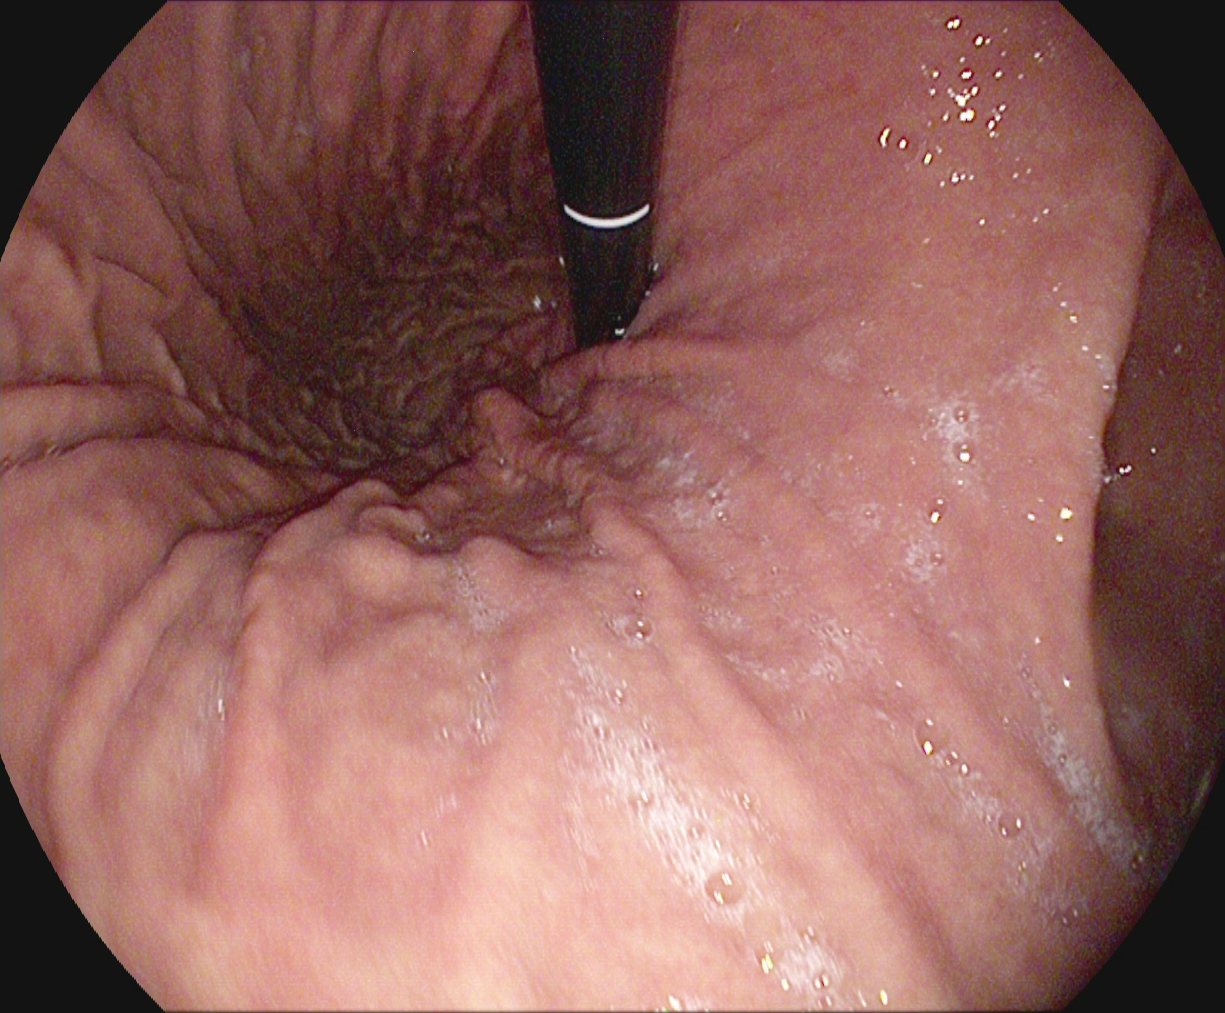stomach in retroflexion.